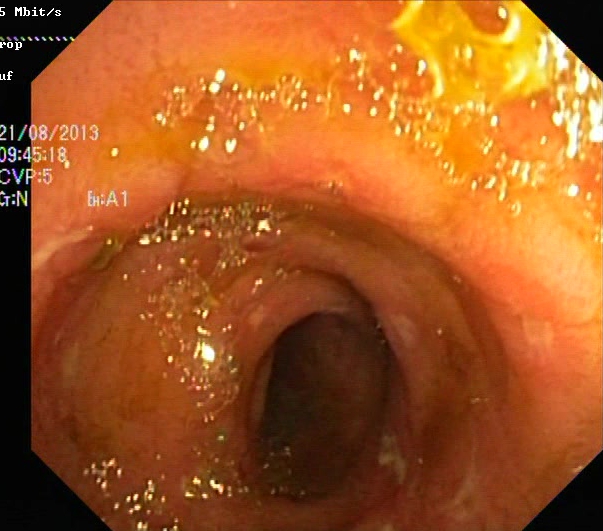Lower-GI endoscopy image of the lower GI tract showing ulcerative colitis, Mayo endoscopic subscore 2.